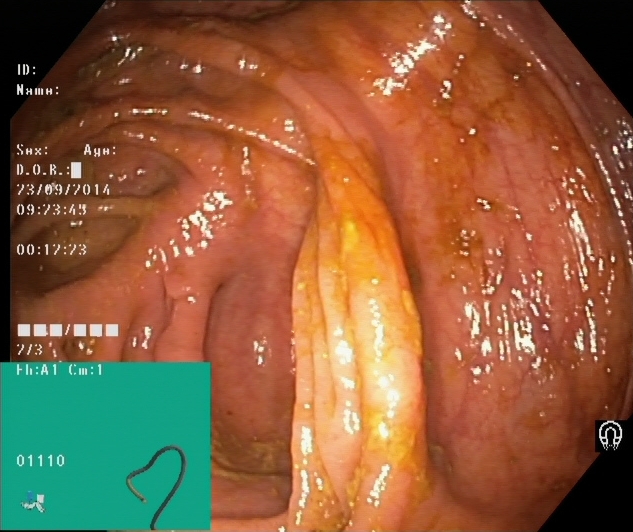{"modality": "lower-GI endoscopy", "tract": "lower GI tract", "finding": "cecum"}